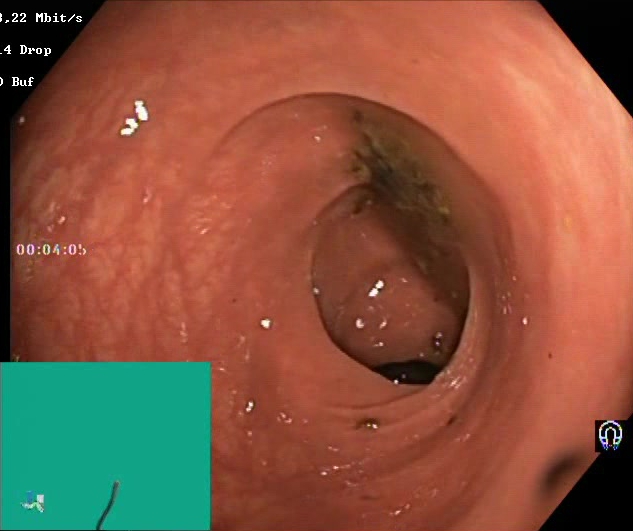PROCEDURE: Lower gastrointestinal endoscopy.
CATEGORY: Mucosal-view quality.
FINDINGS: Boston Bowel Preparation Scale score 0–1 (inadequate preparation).